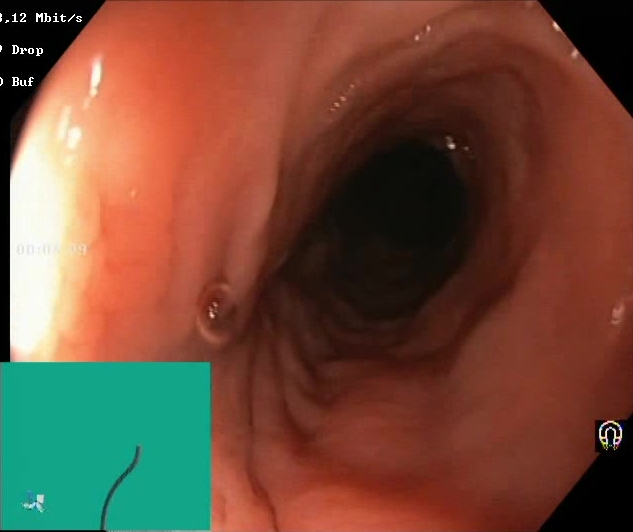modality: lower gastrointestinal endoscopy; tract: lower GI tract; finding: BBPS score 2–3 (adequate preparation)